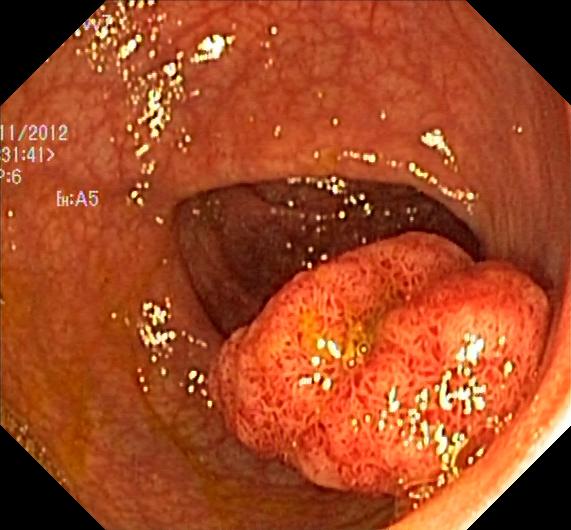This endoscopic image of the lower GI tract shows colorectal polyp(s).